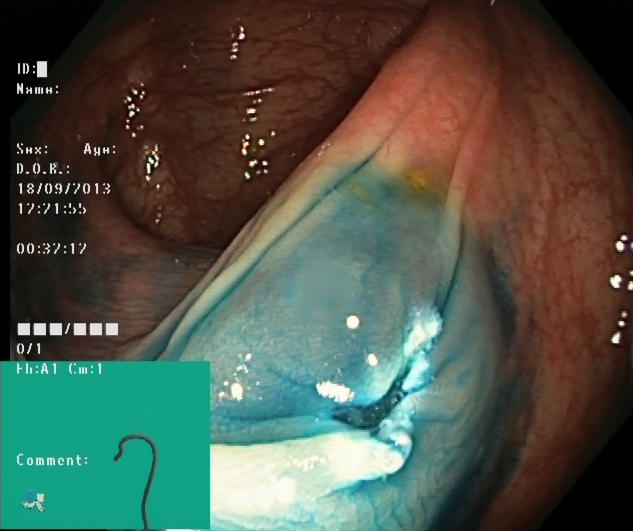{"modality": "lower-GI endoscopy", "finding": "dyed resection margins (post-polypectomy)"}